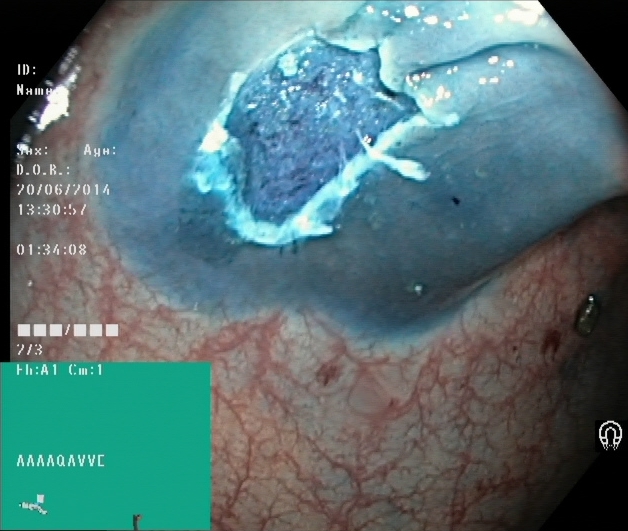PROCEDURE: Colonoscopy.
CATEGORY: Therapeutic intervention.
FINDINGS: Dyed resection margins (post-polypectomy).